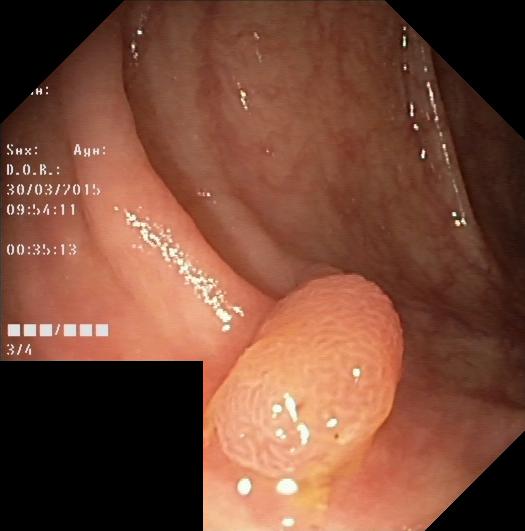Gastrointestinal endoscopy image showing colorectal polyp(s).